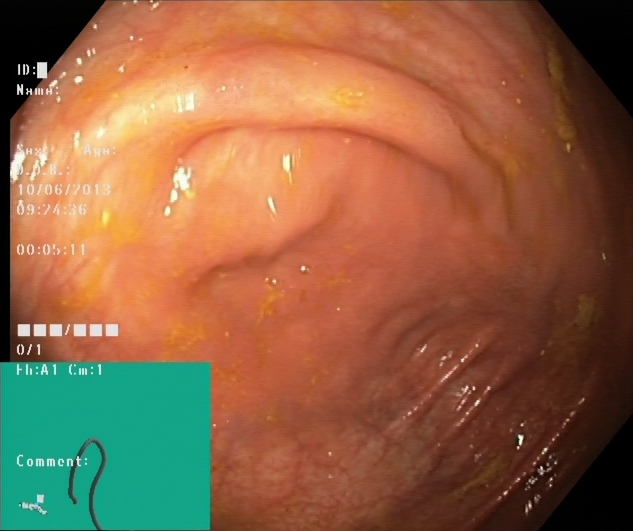modality: lower-GI endoscopy
tract: lower GI tract
category: anatomical landmark
finding: cecum